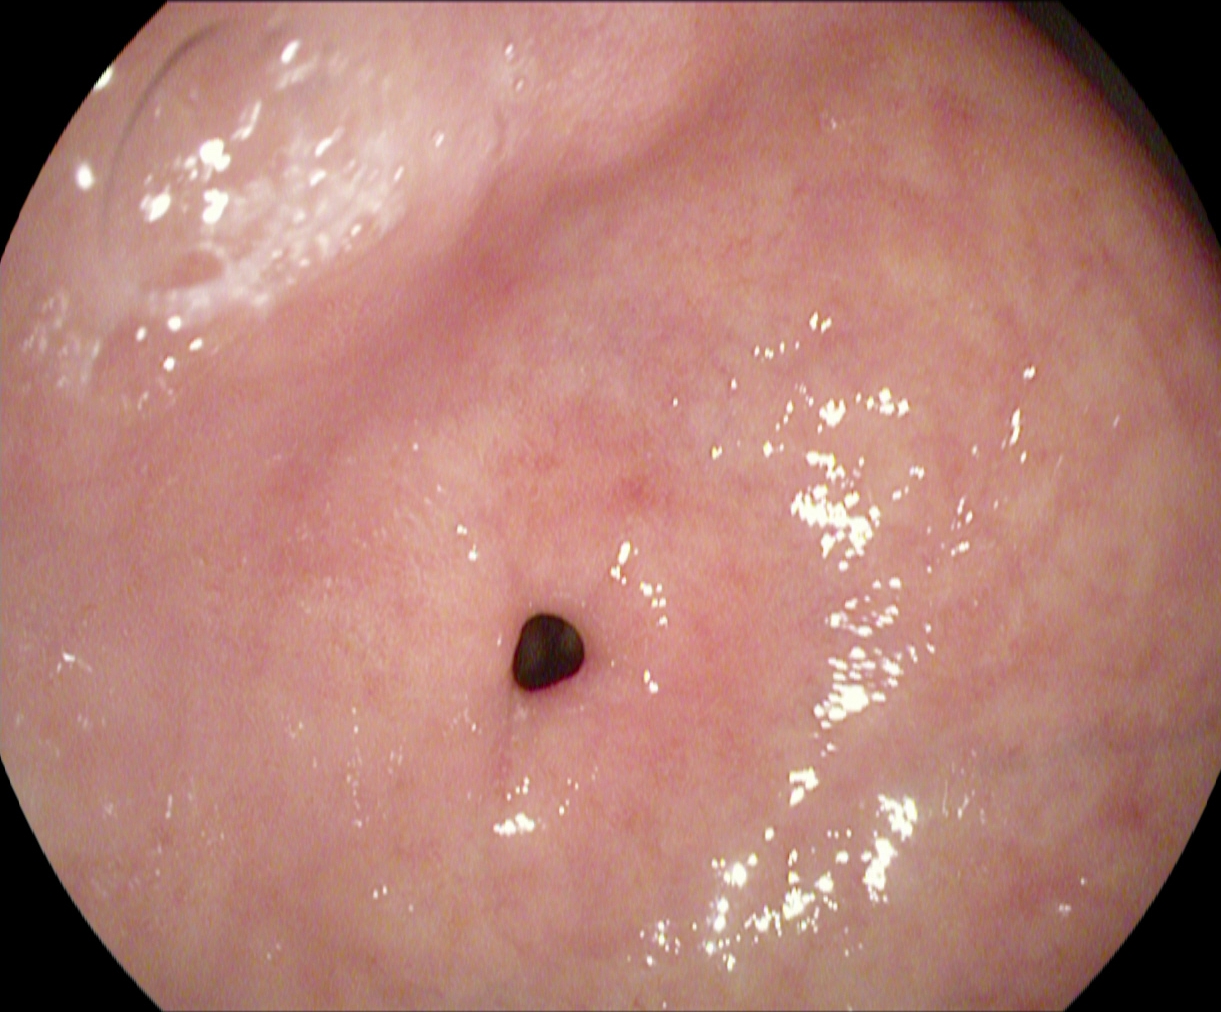Gastroscopy. Finding: pylorus.